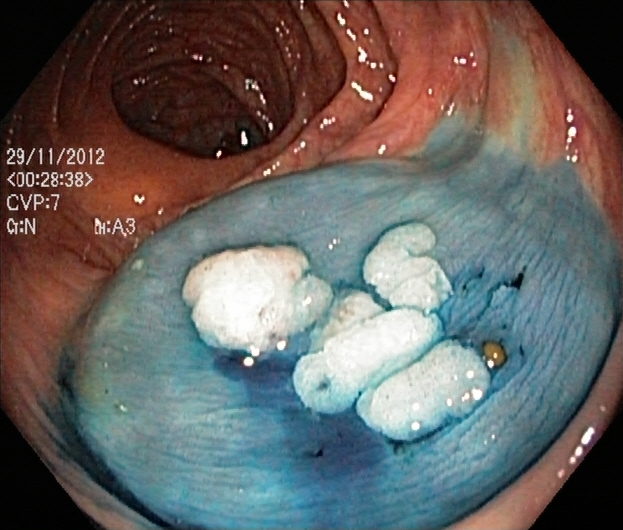Dyed and lifted polyp (pre-resection).